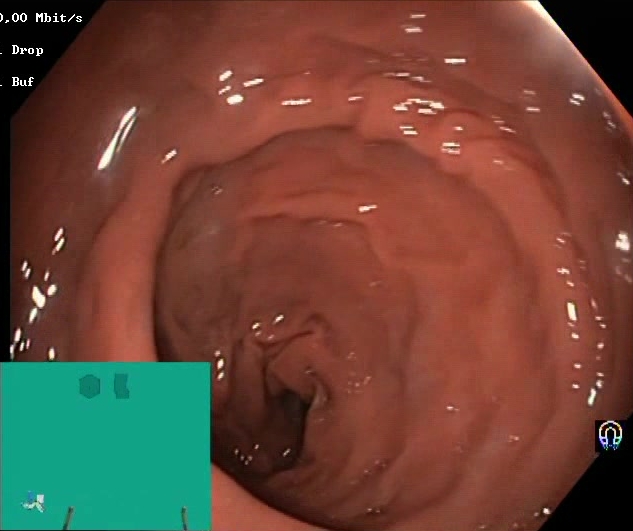This endoscopic image of the lower GI tract shows Boston Bowel Preparation Scale score 2–3 (adequate preparation).